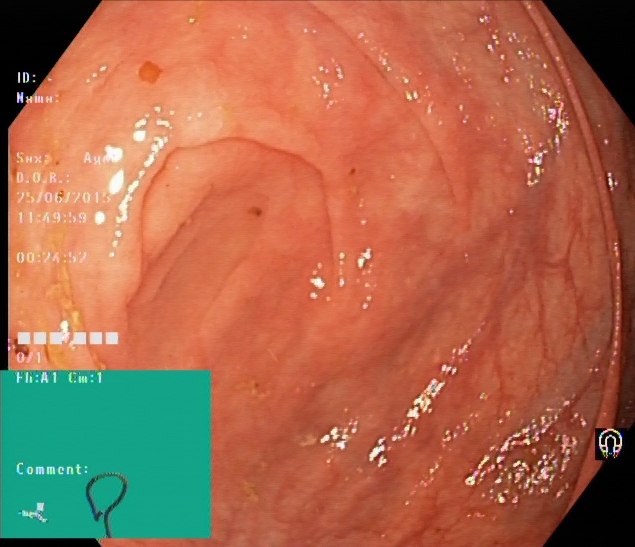GI endoscopy image of the lower GI tract showing cecum.